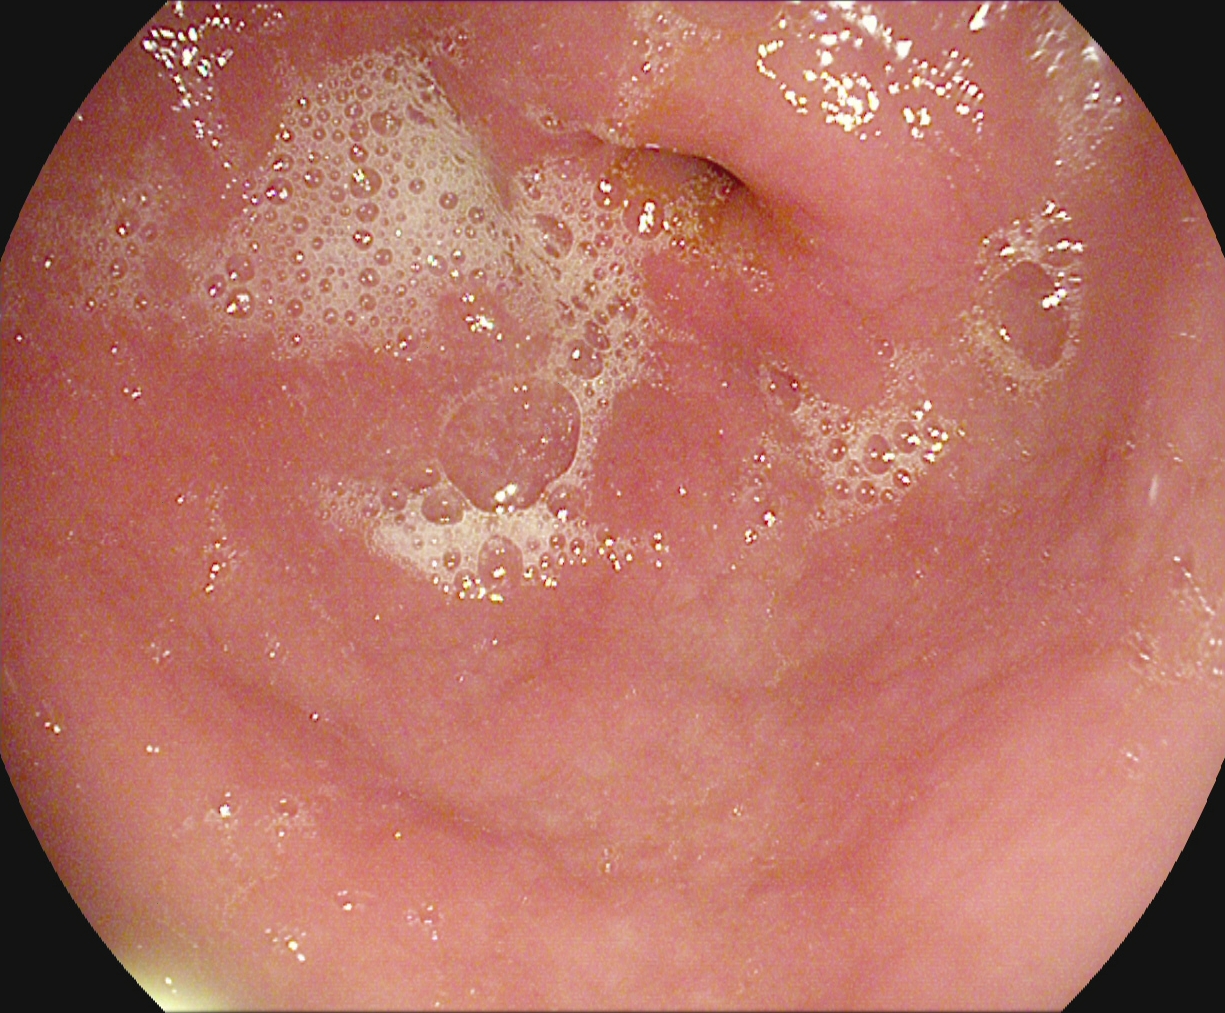modality: upper-GI endoscopy | tract: upper GI tract | category: anatomical landmark | finding: pylorus